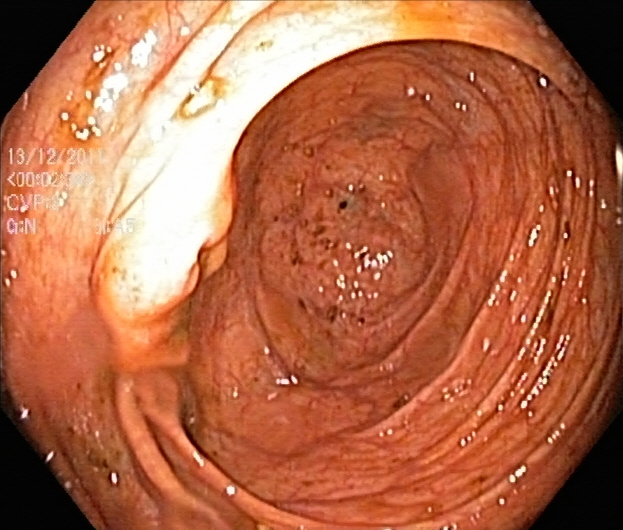{"modality": "colonoscopy", "finding": "cecum"}